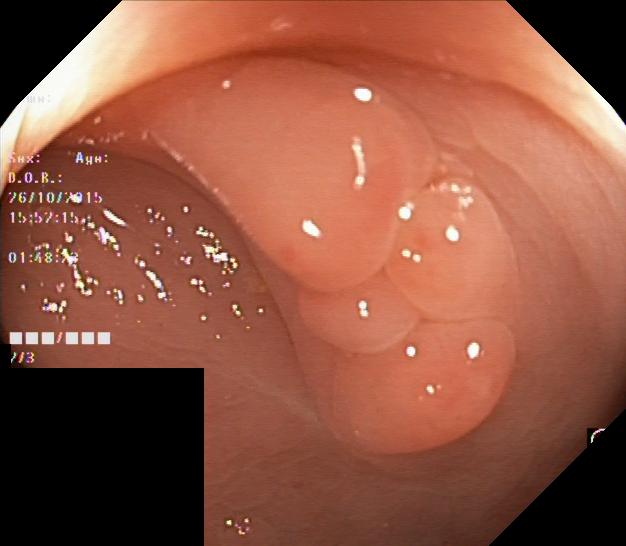Lower-GI endoscopy — colorectal polyp(s).